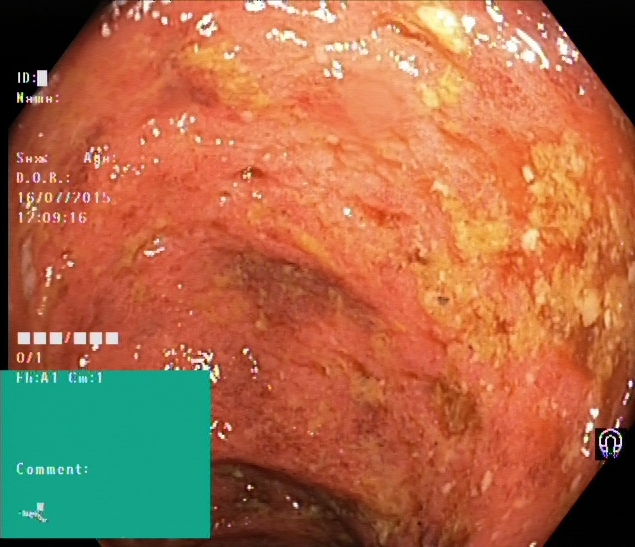{"modality": "lower gastrointestinal endoscopy", "tract": "lower GI tract", "category": "pathological finding", "finding": "ulcerative colitis, Mayo endoscopic subscore 2"}